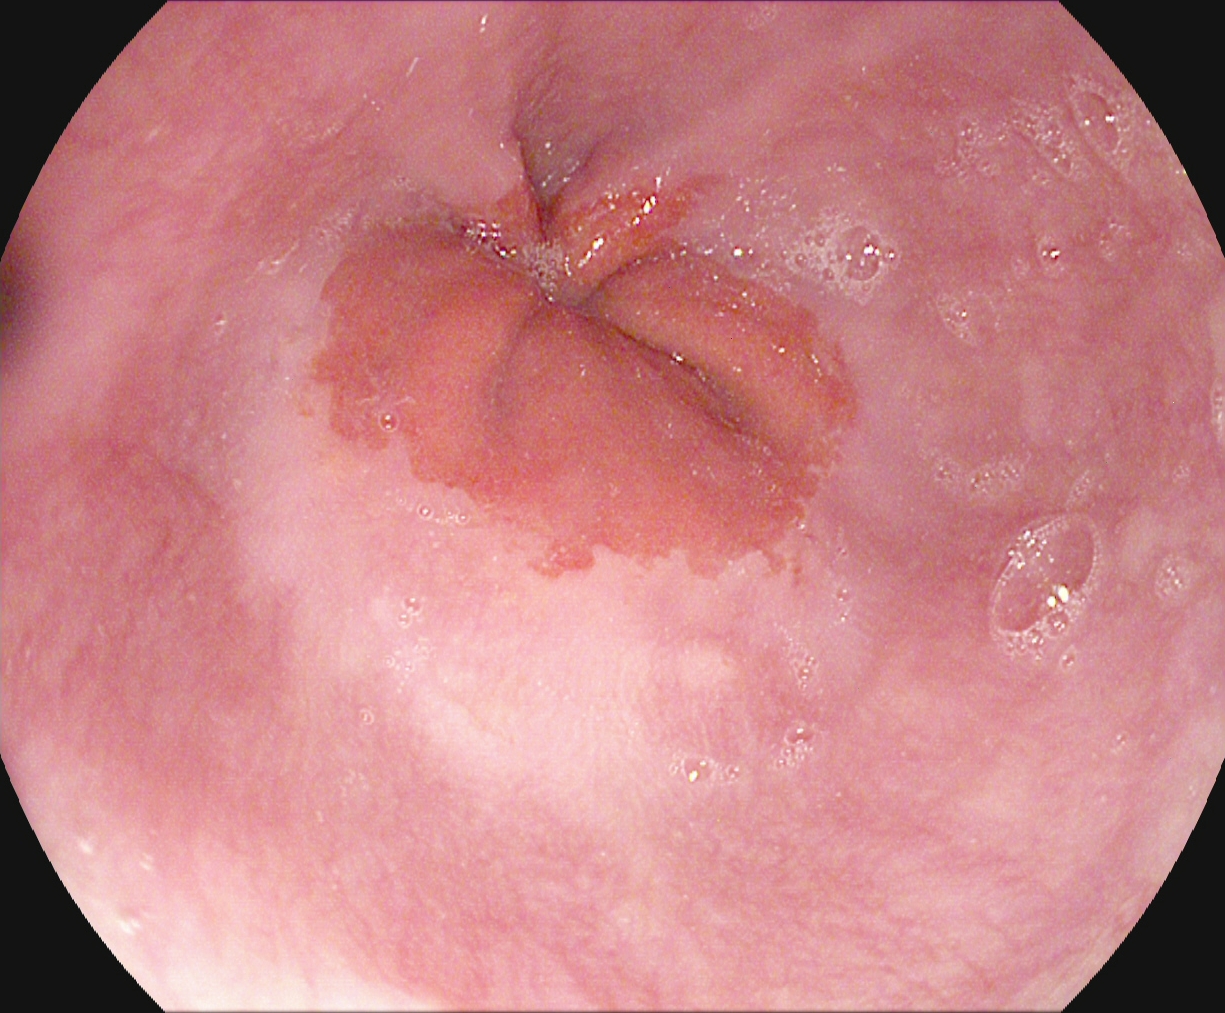This endoscopy frame of the upper GI tract shows Z-line (gastroesophageal junction).